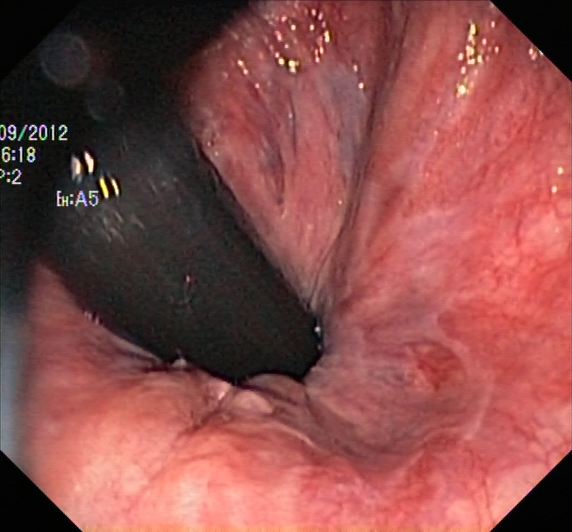This endoscopic image of the lower GI tract shows rectum in retroflexion.